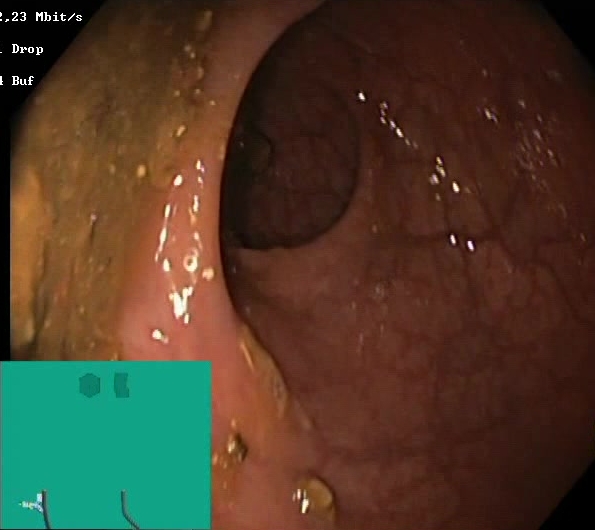Boston Bowel Preparation Scale score 0–1 (inadequate preparation).